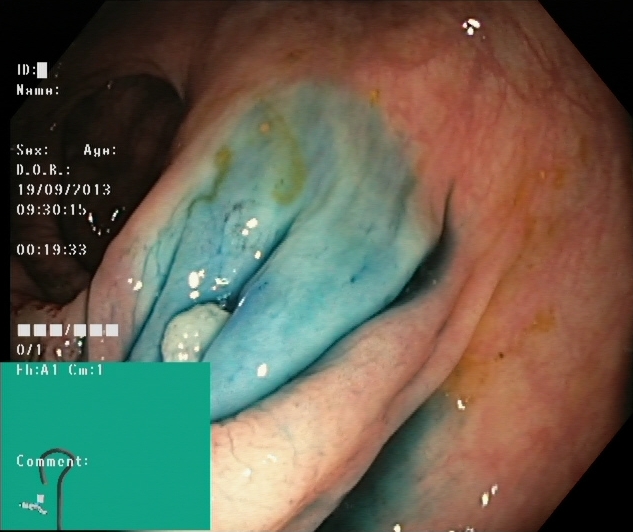Lower gastrointestinal endoscopy. Finding: dyed and lifted polyp (pre-resection).